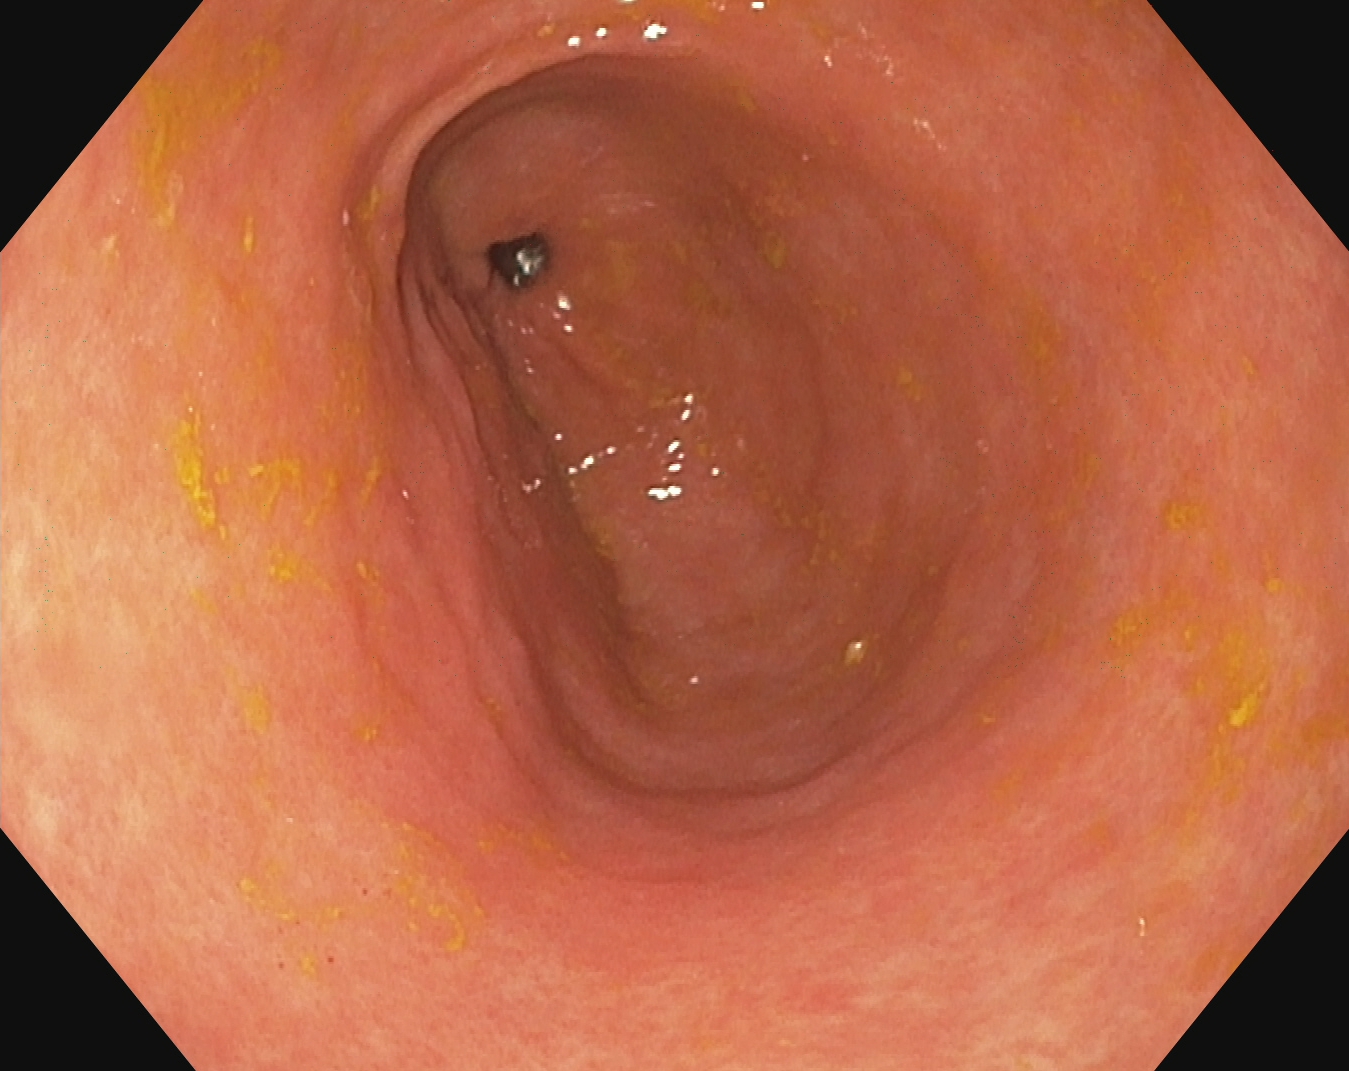GI endoscopy image of the upper GI tract showing pylorus.